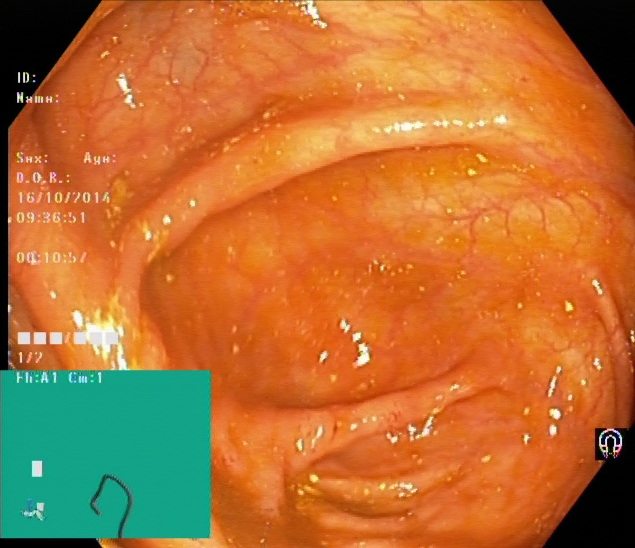Cecum.